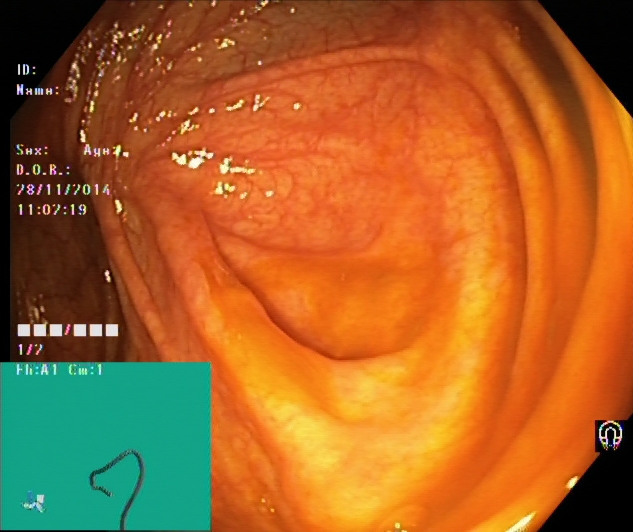{"modality": "lower gastrointestinal endoscopy", "tract": "lower GI tract", "finding": "cecum"}